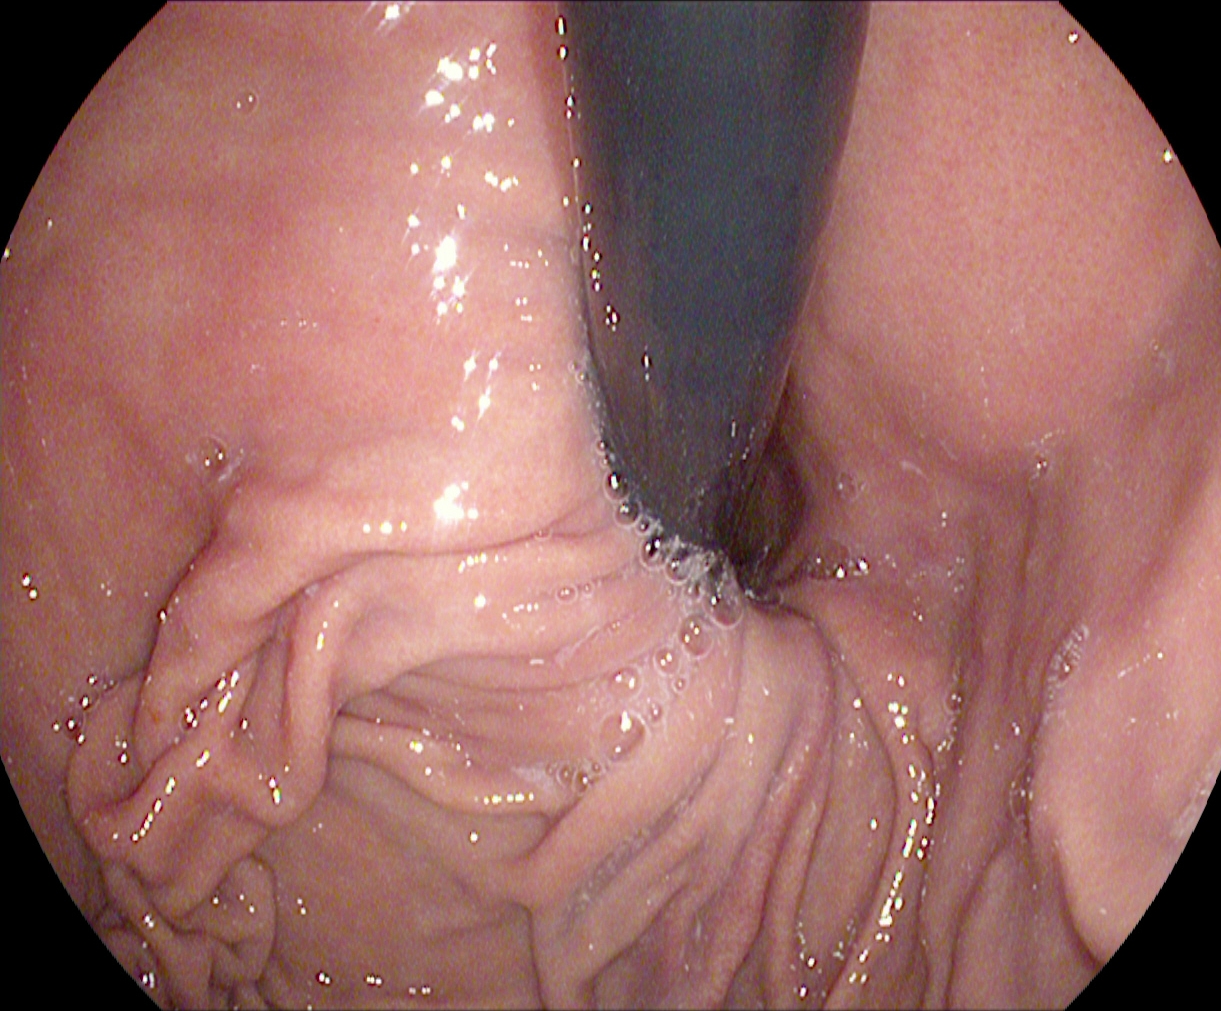EGD. Tract: upper GI tract. Finding: stomach in retroflexion.